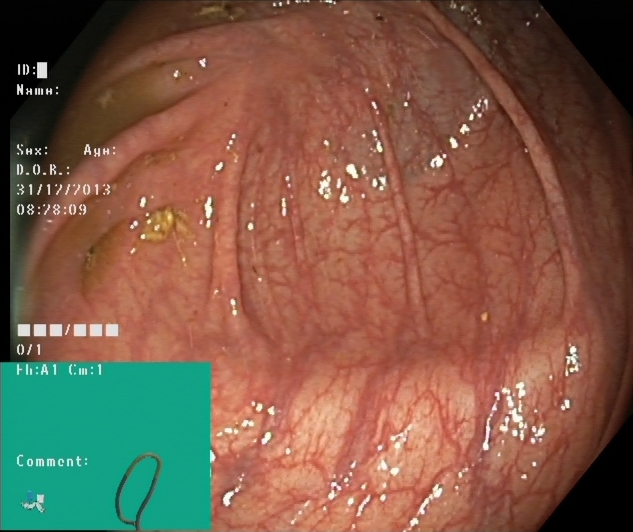{"modality": "lower gastrointestinal endoscopy", "category": "anatomical landmark", "finding": "cecum"}